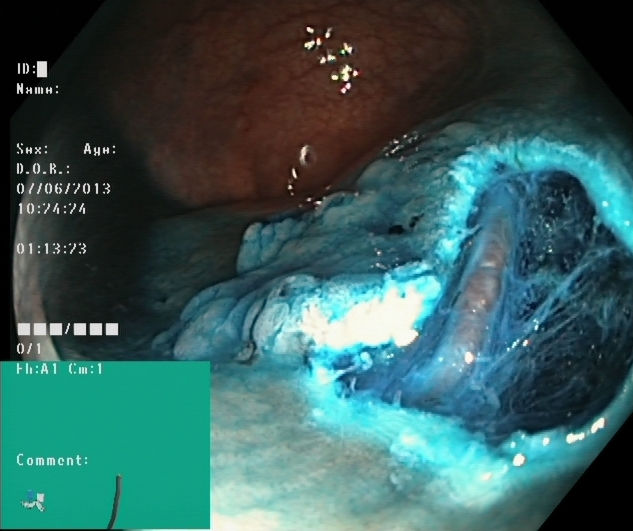{"modality": "colonoscopy", "category": "therapeutic intervention", "finding": "dyed resection margins (post-polypectomy)"}